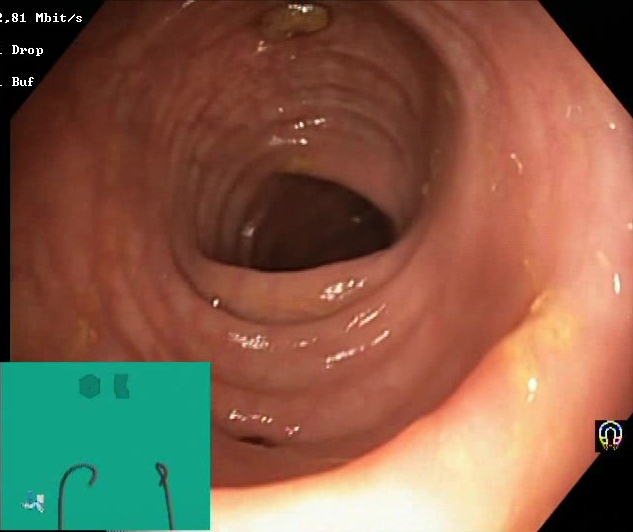Lower gastrointestinal endoscopy. Tract: lower GI tract. Mucosal-view quality. Finding: impacted stool.